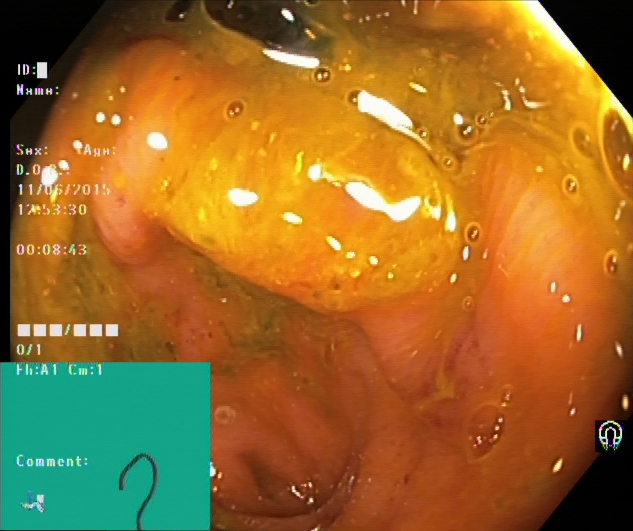{"modality": "lower-GI endoscopy", "finding": "cecum"}